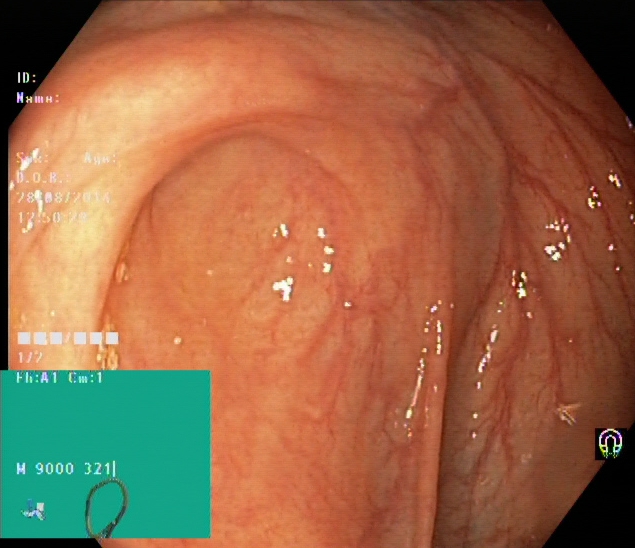Gastrointestinal endoscopy image of the lower GI tract showing cecum.